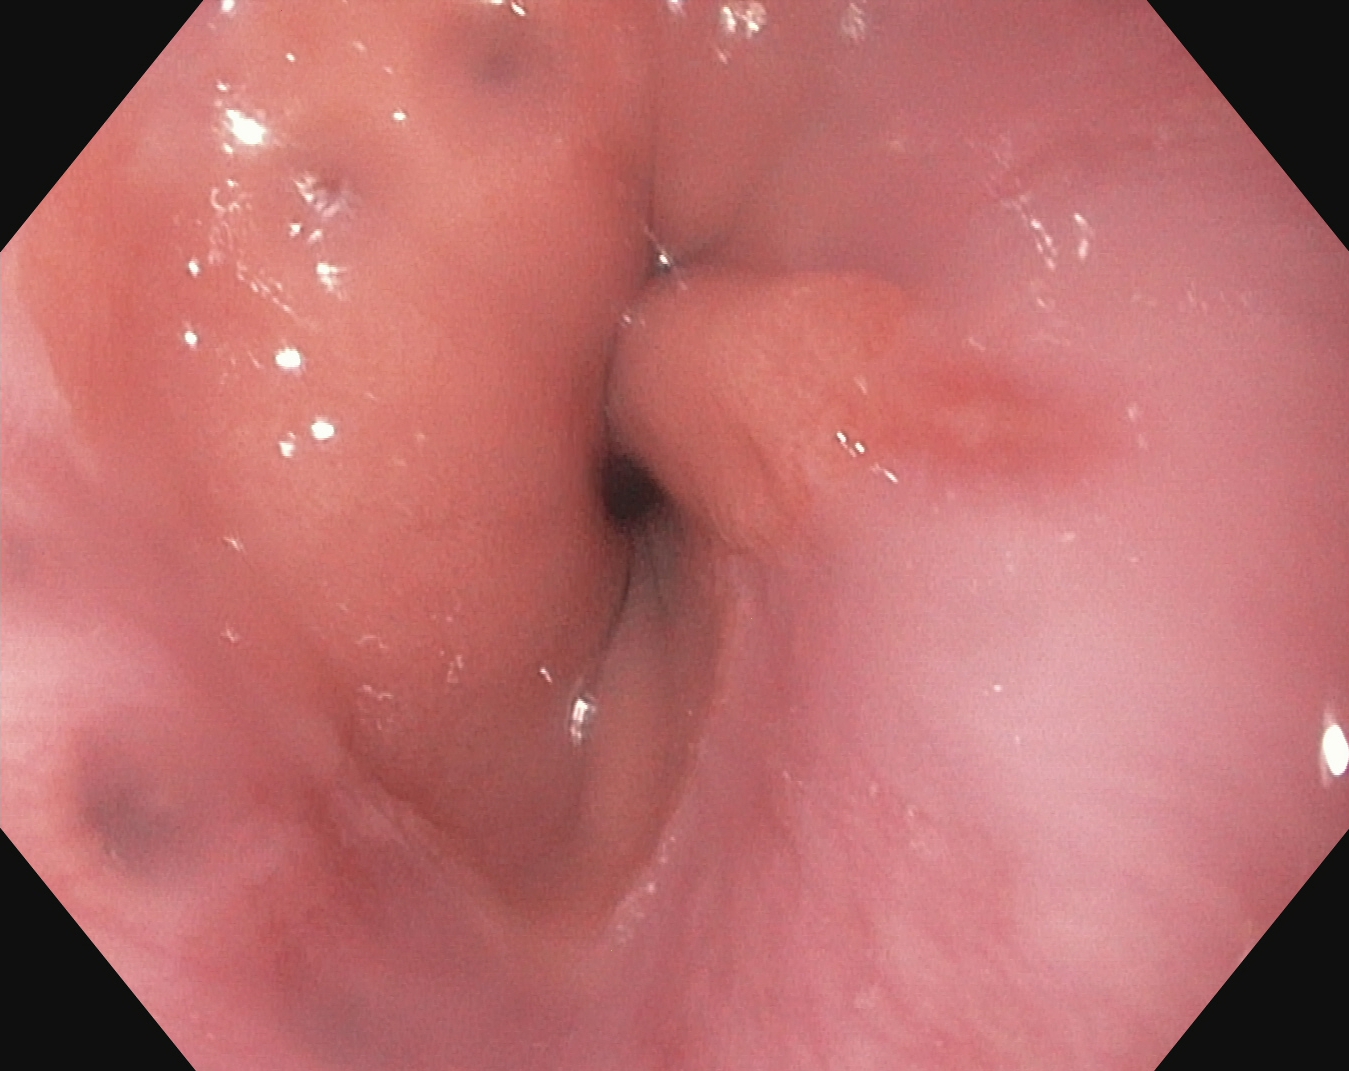reflux esophagitis, Los Angeles grade A.